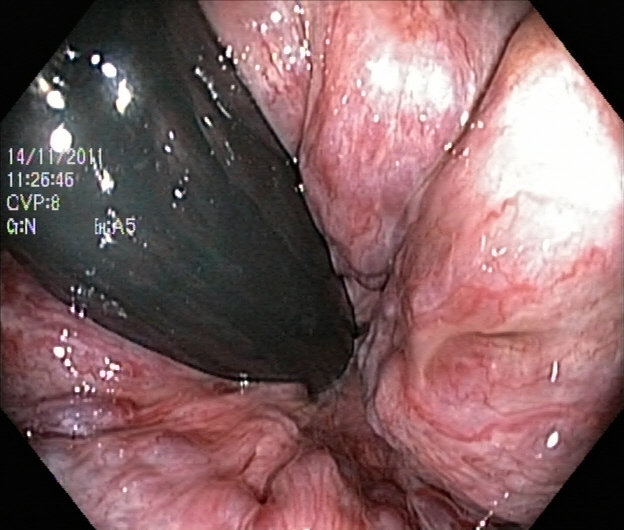PROCEDURE: Colonoscopy.
FINDINGS: Hemorrhoids.